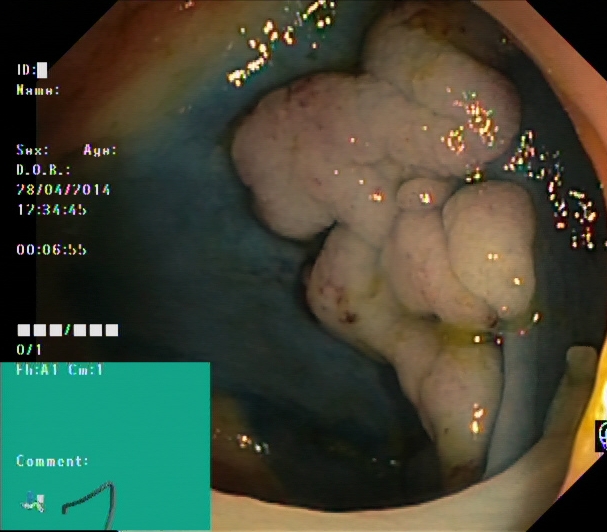PROCEDURE: Lower gastrointestinal endoscopy.
CATEGORY: Therapeutic intervention.
FINDINGS: Dyed and lifted polyp (pre-resection).